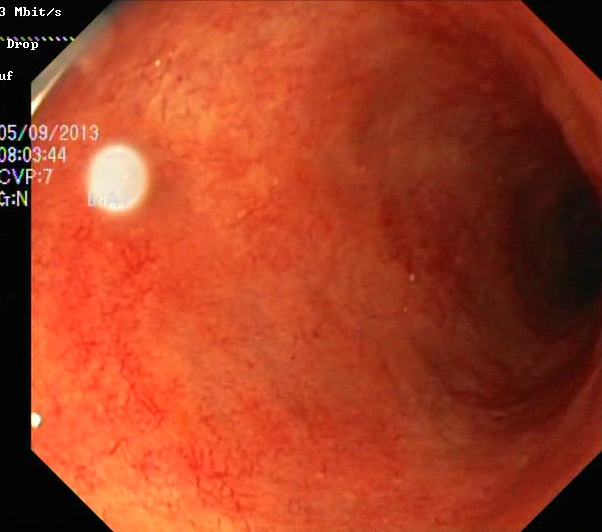{"modality": "lower-GI endoscopy", "tract": "lower GI tract", "finding": "UC, Mayo endoscopic subscore 2"}